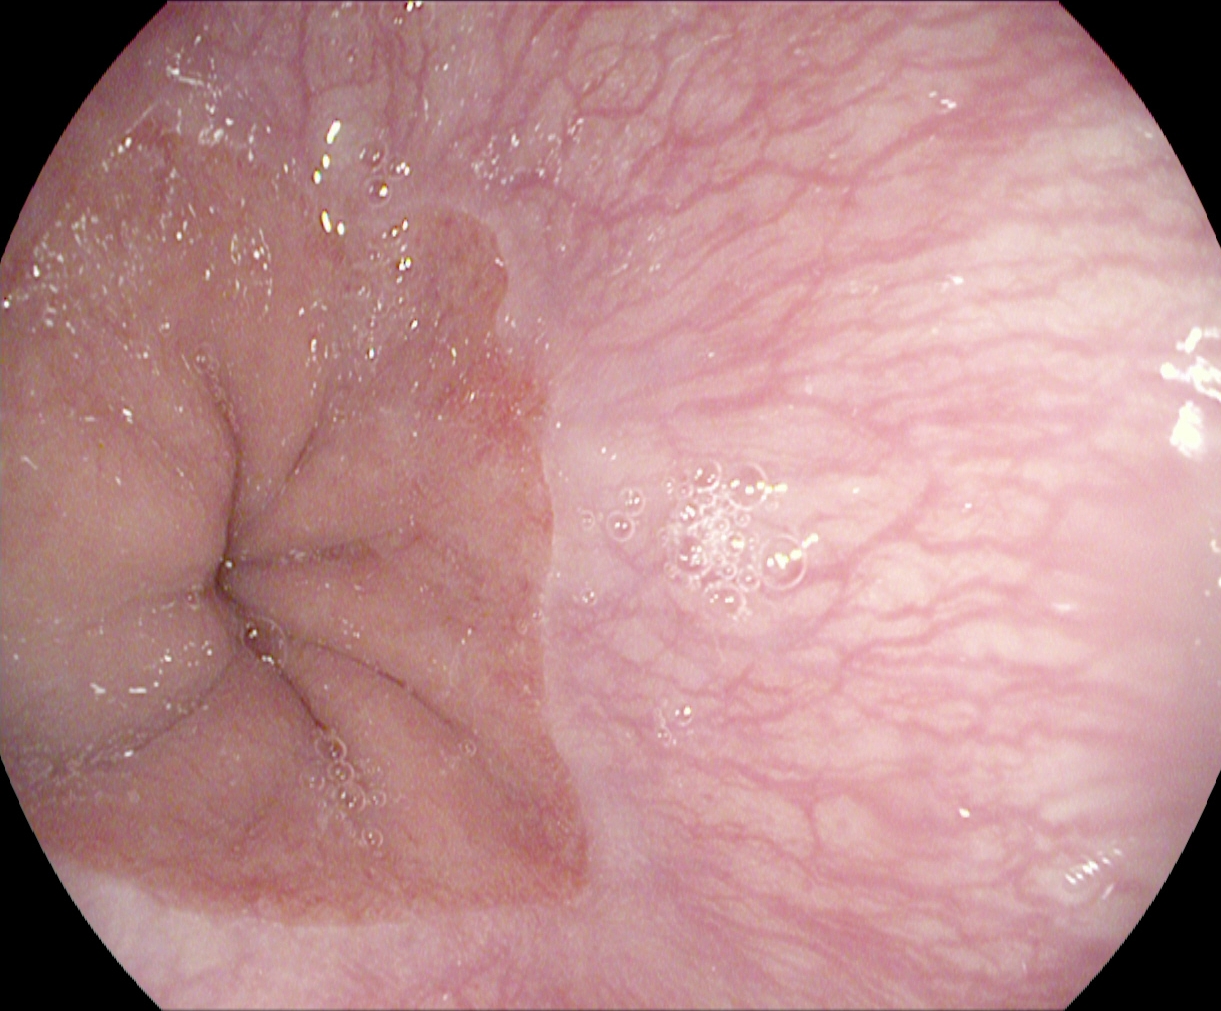This endoscopic image shows Z-line (gastroesophageal junction).